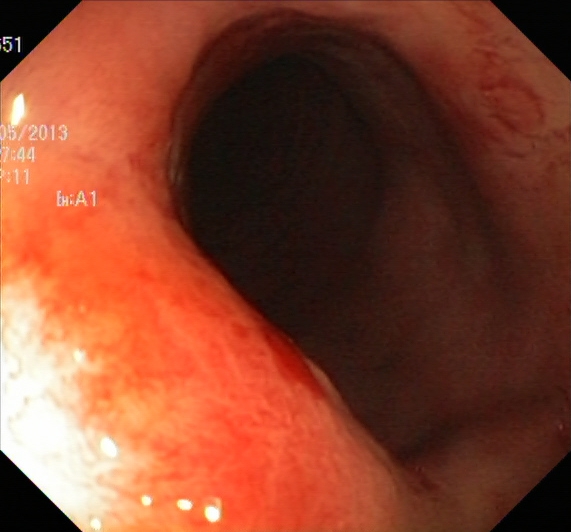Lower-GI endoscopy. Finding: ulcerative colitis, Mayo endoscopic subscore 2.